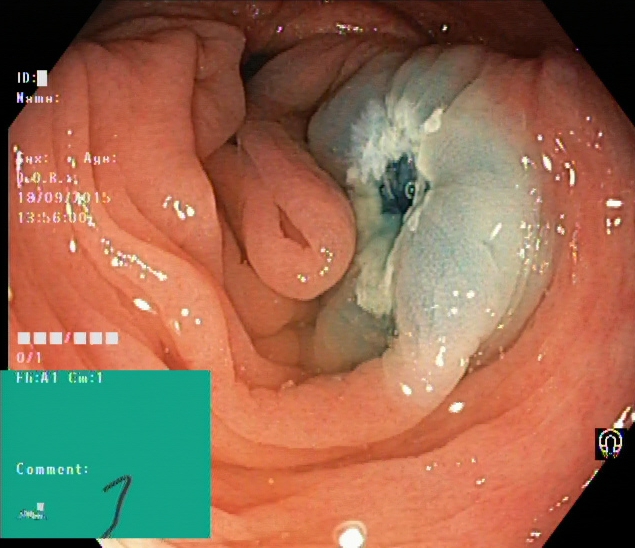PROCEDURE: Colonoscopy.
FINDINGS: Dyed resection margins (post-polypectomy).